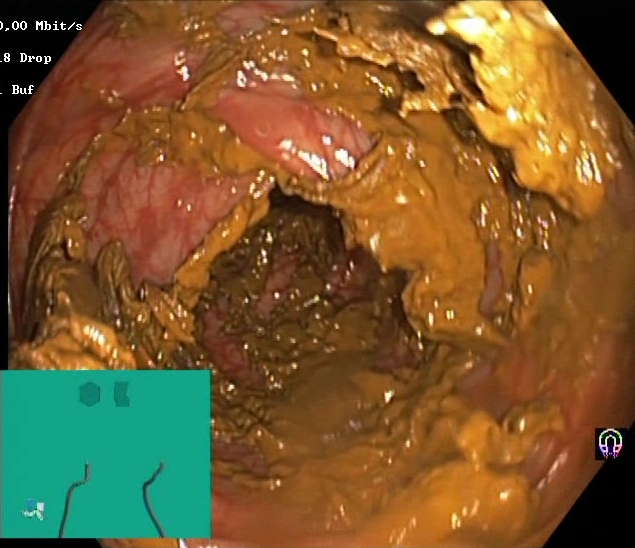PROCEDURE: Colonoscopy.
FINDINGS: BBPS score 0–1 (inadequate preparation).